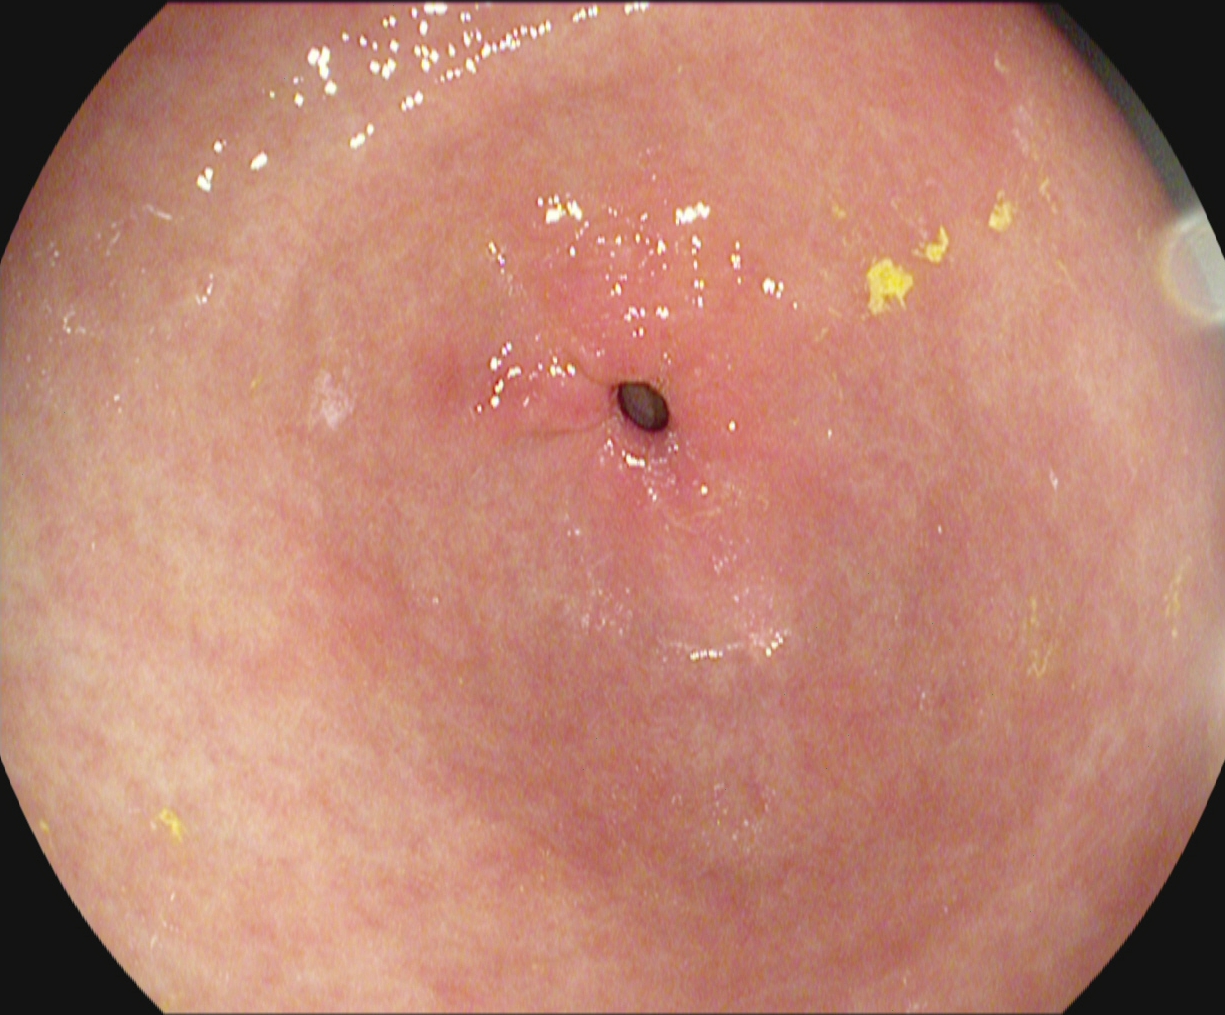Gastrointestinal endoscopy image showing pylorus.